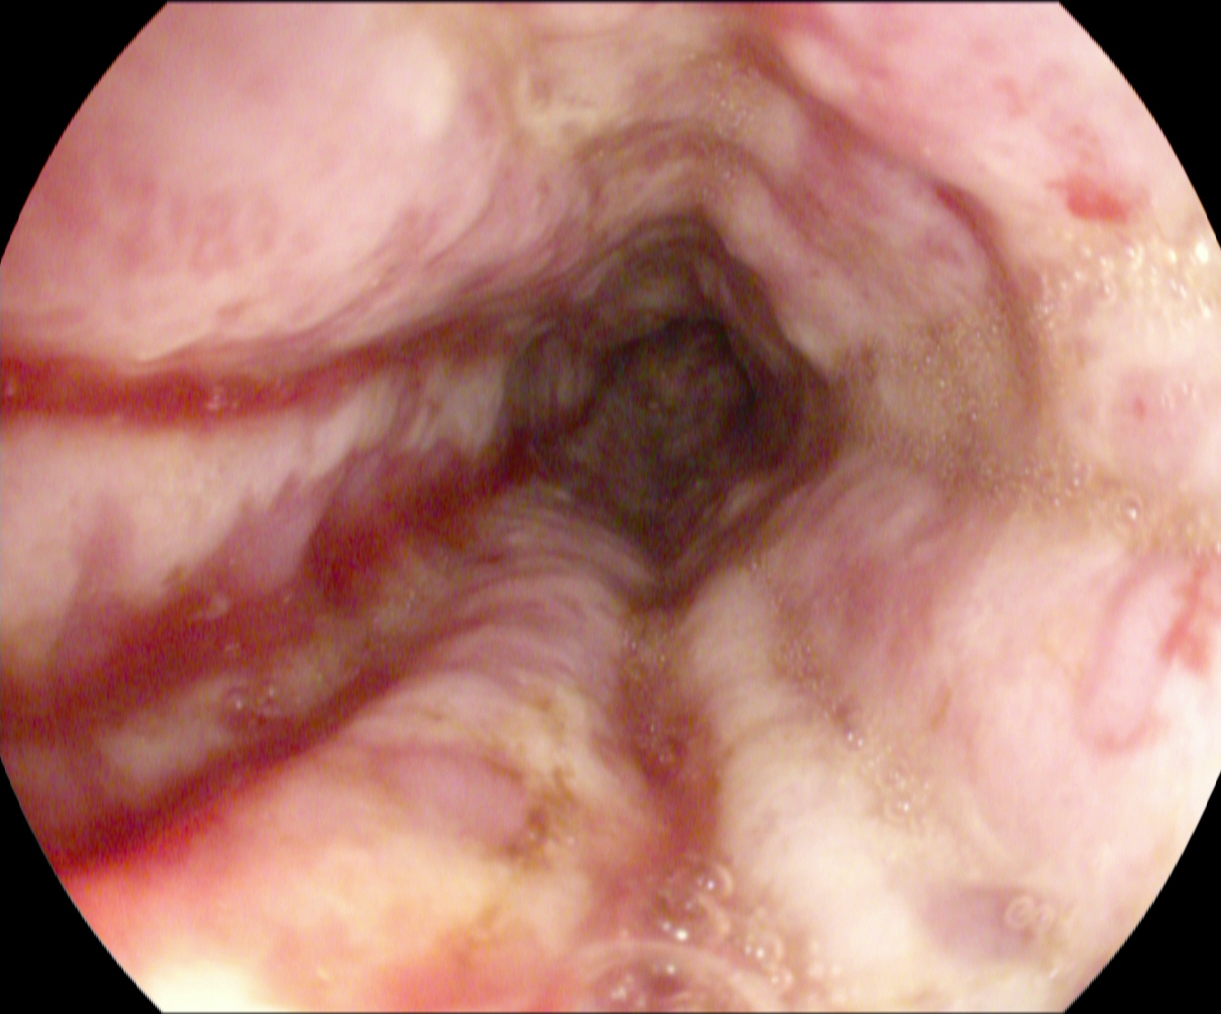Reflux esophagitis, Los Angeles grade B–D.